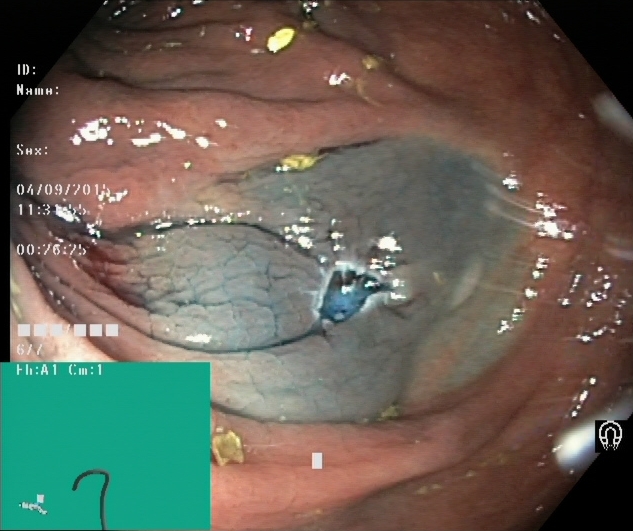Colonoscopy. Therapeutic intervention. Finding: dyed resection margins (post-polypectomy).